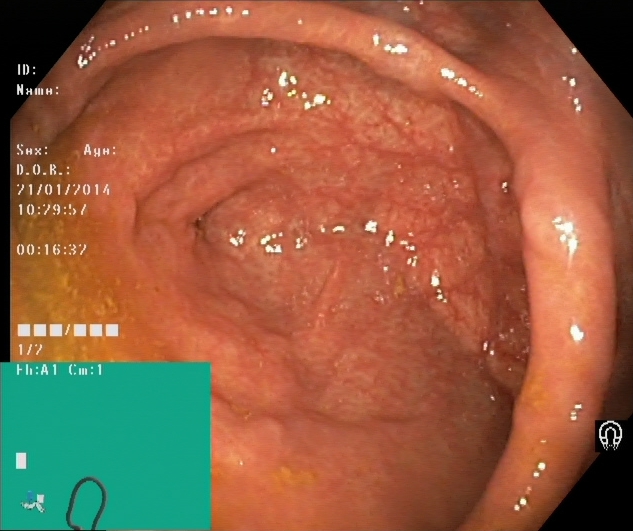Lower-GI endoscopy. Finding: cecum.